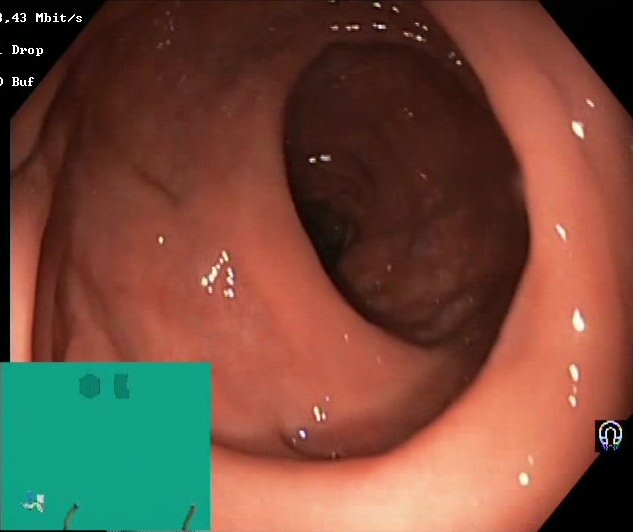Boston Bowel Preparation Scale score 2–3 (adequate preparation).